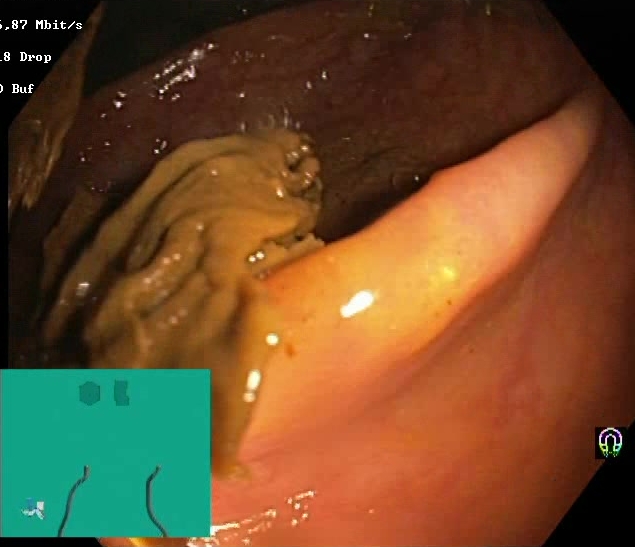modality: lower-GI endoscopy
tract: lower GI tract
category: mucosal-view quality
finding: Boston Bowel Preparation Scale score 0–1 (inadequate preparation)